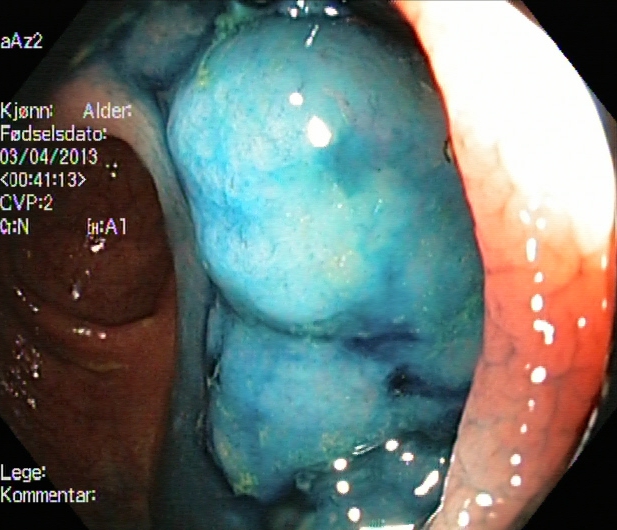This endoscopy frame shows dyed and lifted polyp (pre-resection).